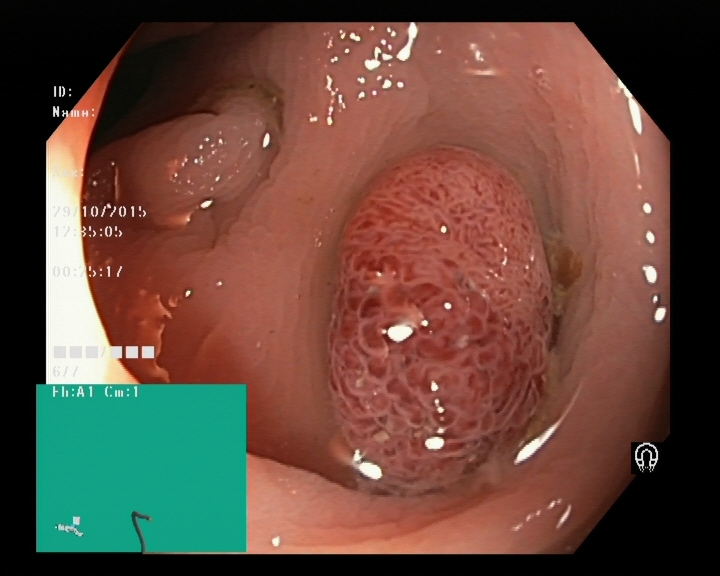PROCEDURE: Colonoscopy.
FINDINGS: Colorectal polyp(s).